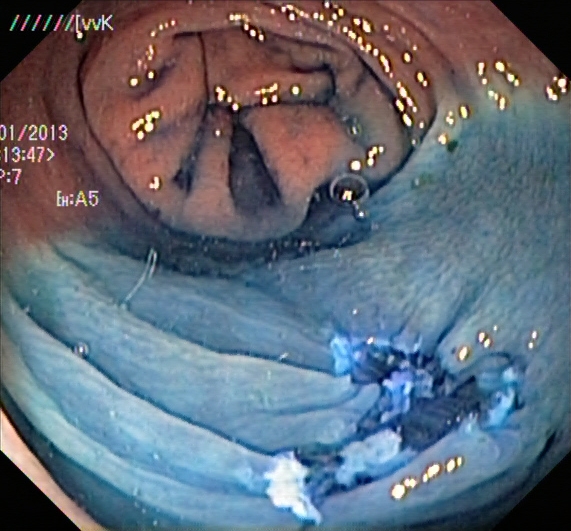PROCEDURE: Colonoscopy.
CATEGORY: Therapeutic intervention.
FINDINGS: Dyed resection margins (post-polypectomy).